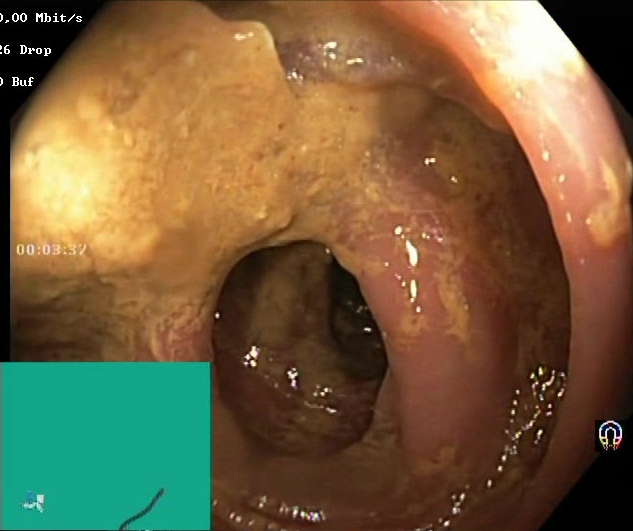{"modality": "lower gastrointestinal endoscopy", "category": "mucosal-view quality", "finding": "Boston Bowel Preparation Scale score 0\u20131 (inadequate preparation)"}